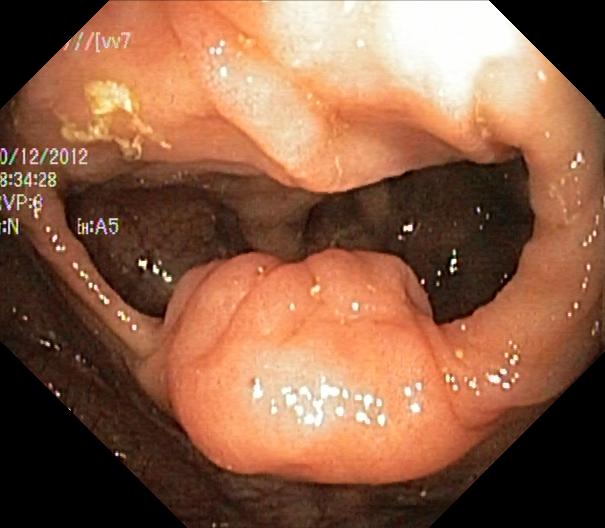{"modality": "lower gastrointestinal endoscopy", "tract": "lower GI tract", "finding": "colorectal polyp(s)"}